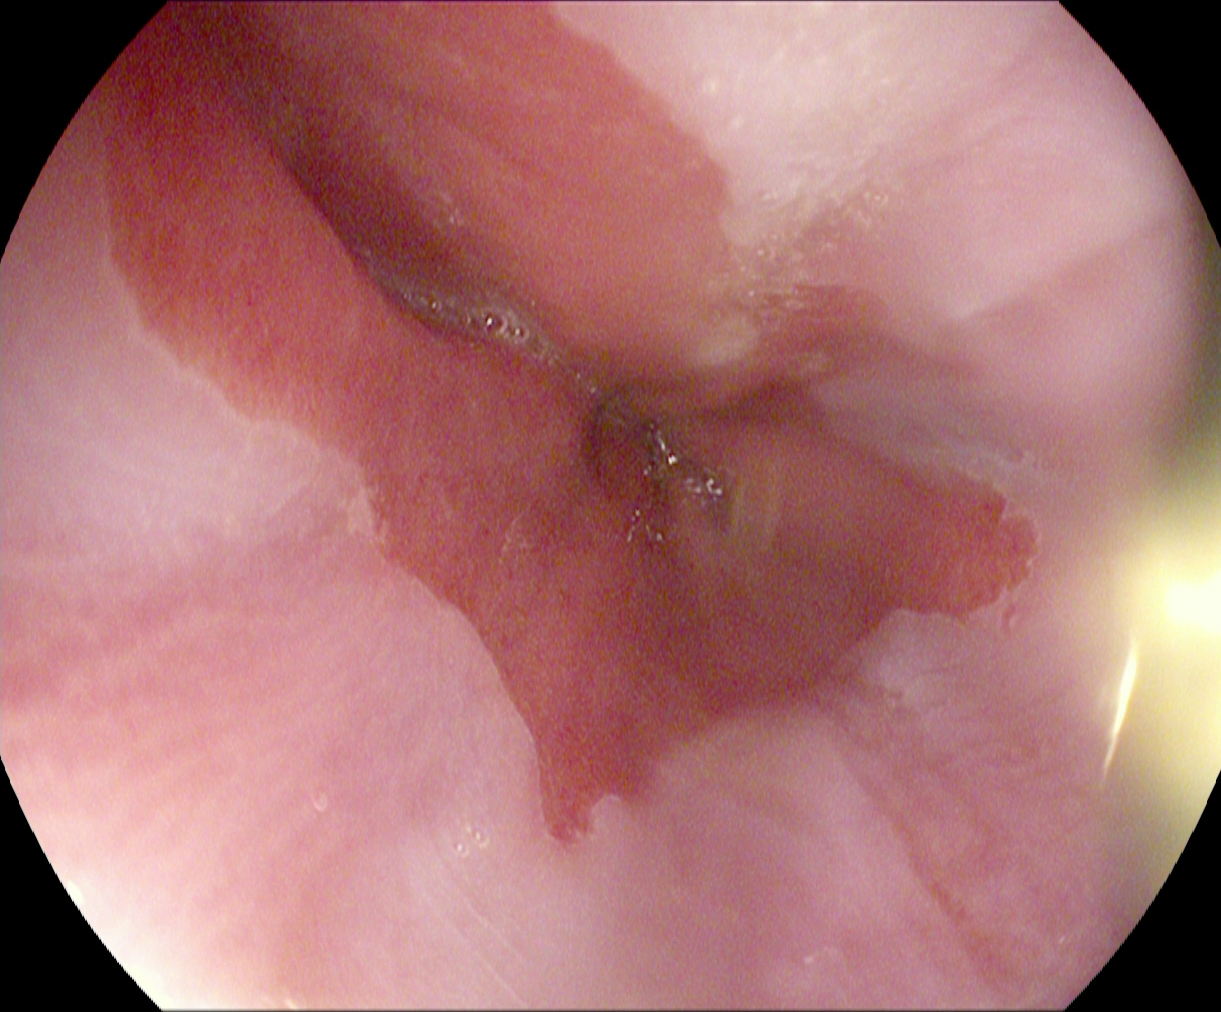Gastroscopy. Tract: upper GI tract. Anatomical landmark. Finding: Z-line (gastroesophageal junction).